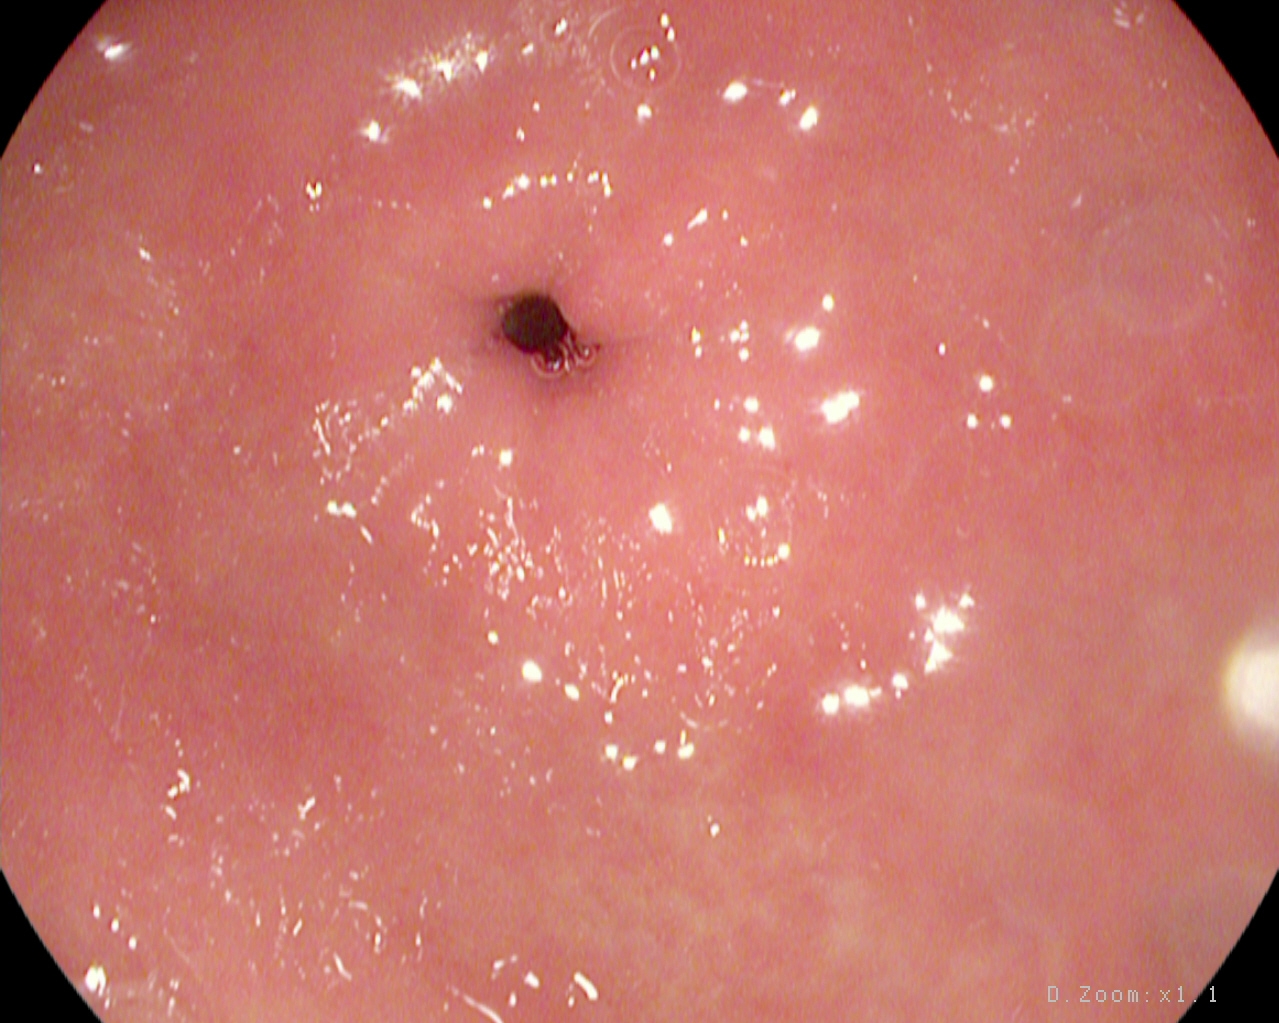modality: upper-GI endoscopy | finding: pylorus